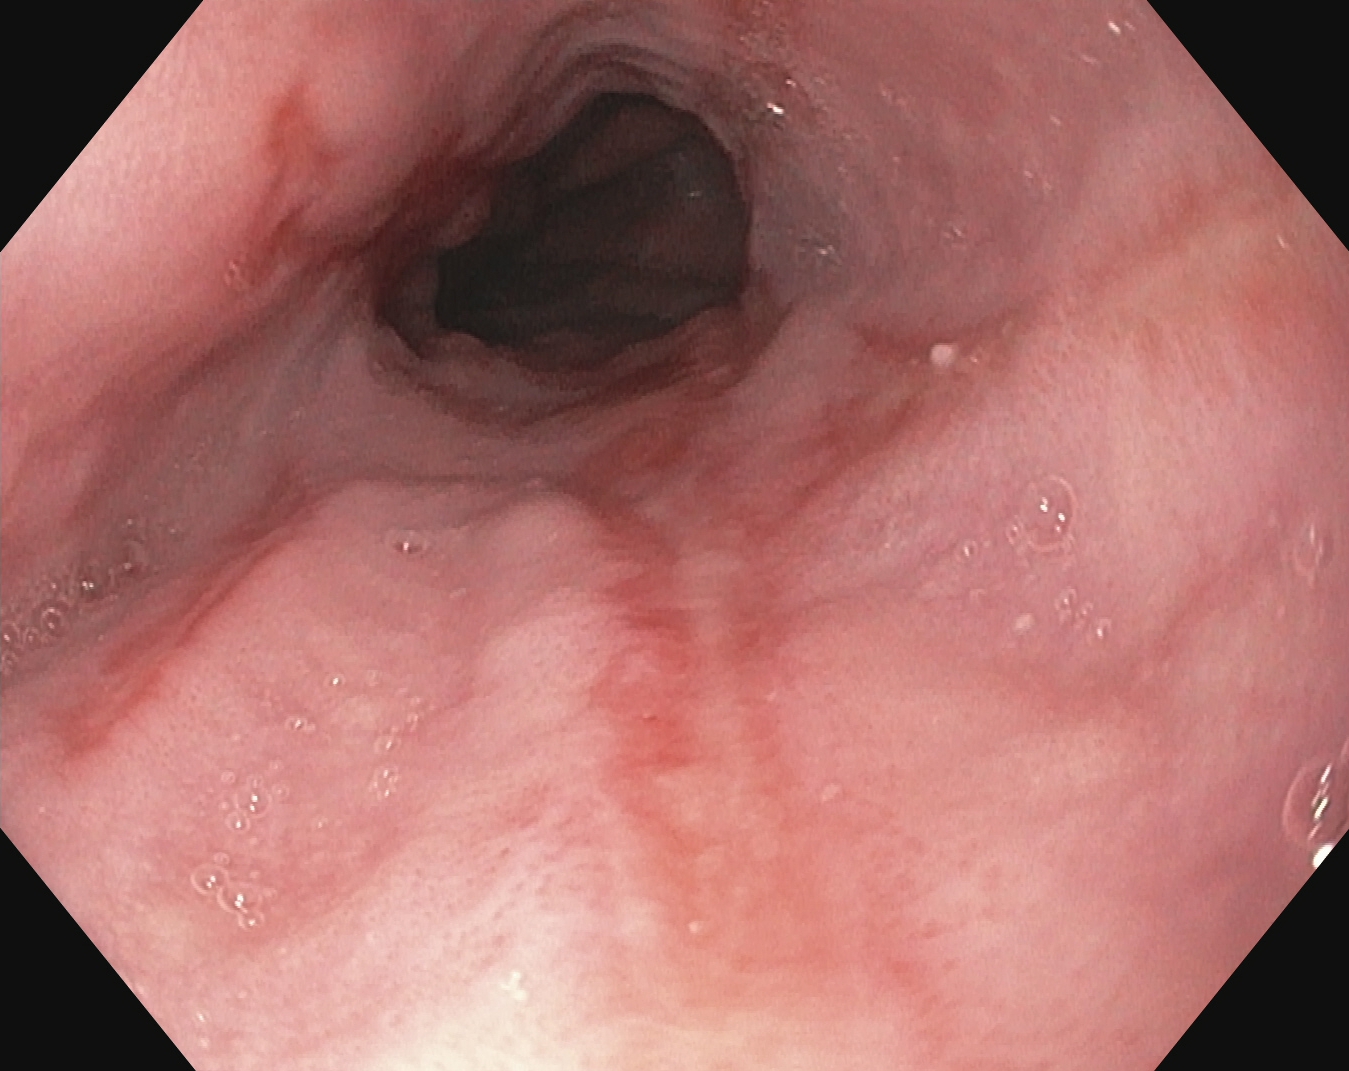reflux esophagitis, Los Angeles grade B–D.